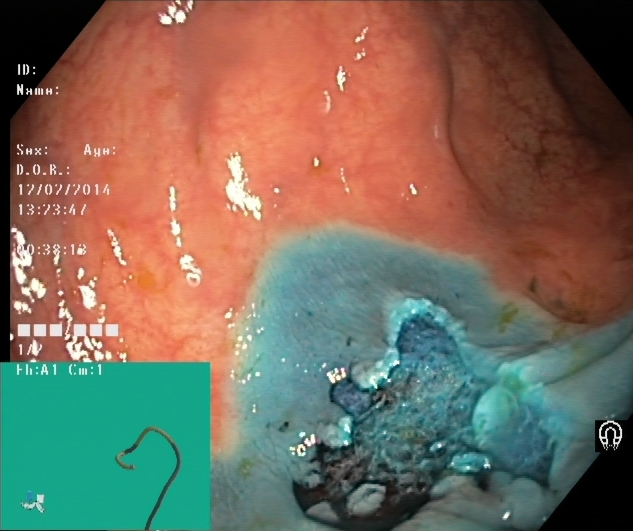{"modality": "lower-GI endoscopy", "tract": "lower GI tract", "finding": "dyed resection margins (post-polypectomy)"}